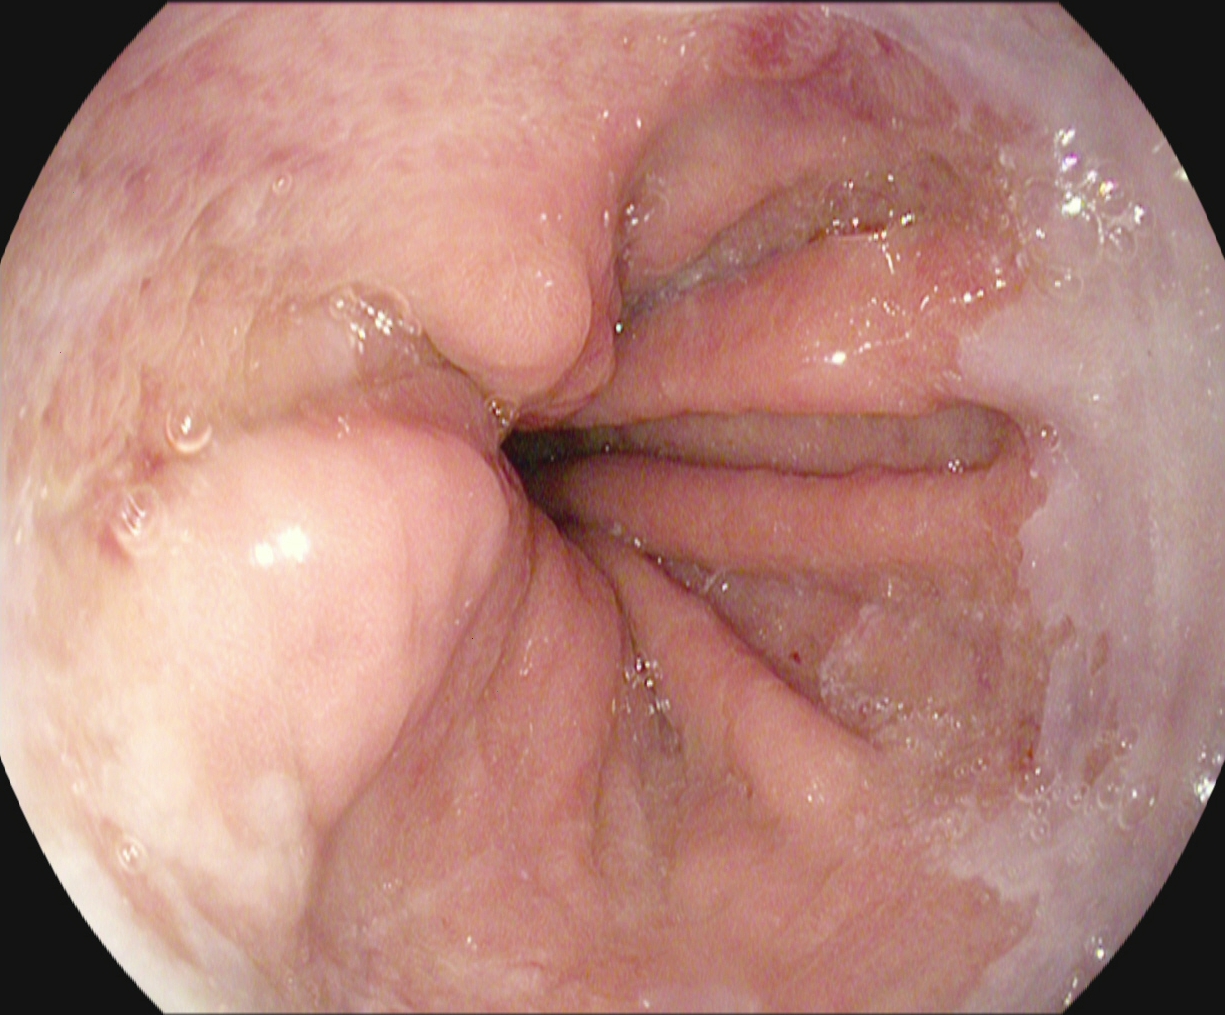This endoscopy frame shows Z-line (gastroesophageal junction).